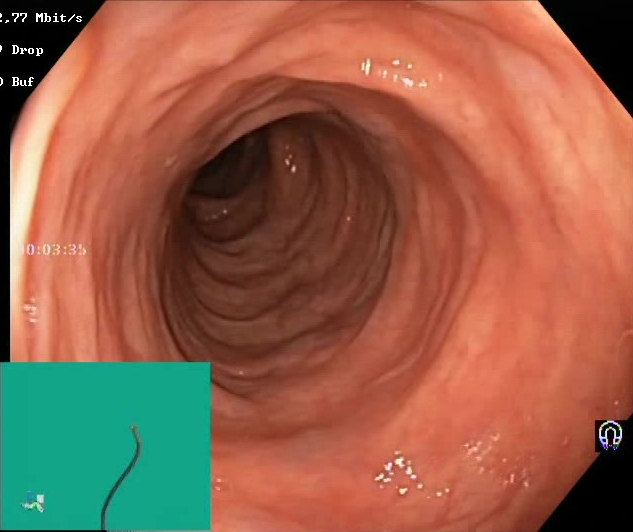Boston Bowel Preparation Scale score 2–3 (adequate preparation).